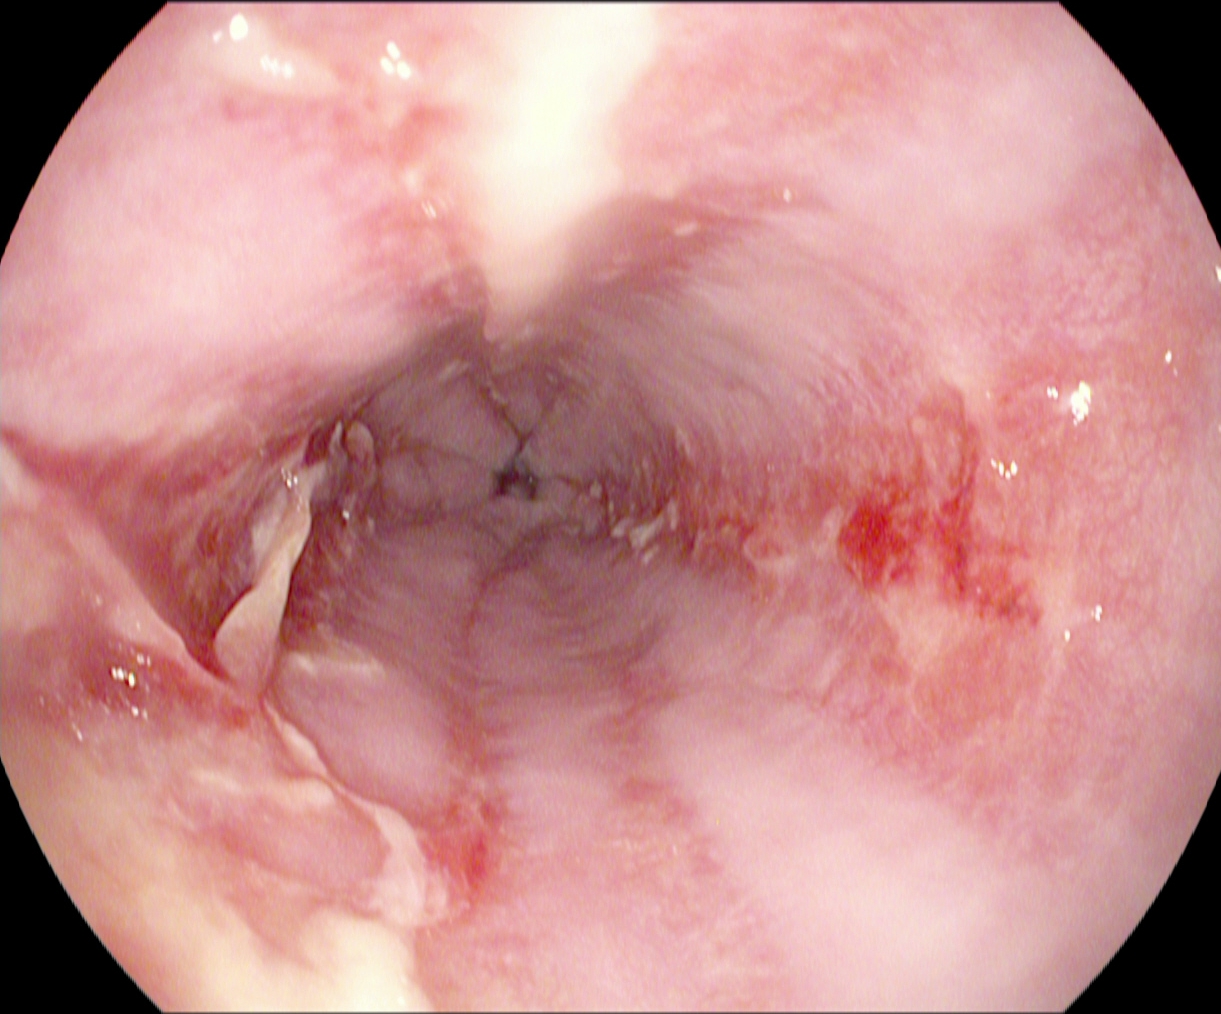Gastrointestinal endoscopy image showing reflux esophagitis, Los Angeles grade B–D.